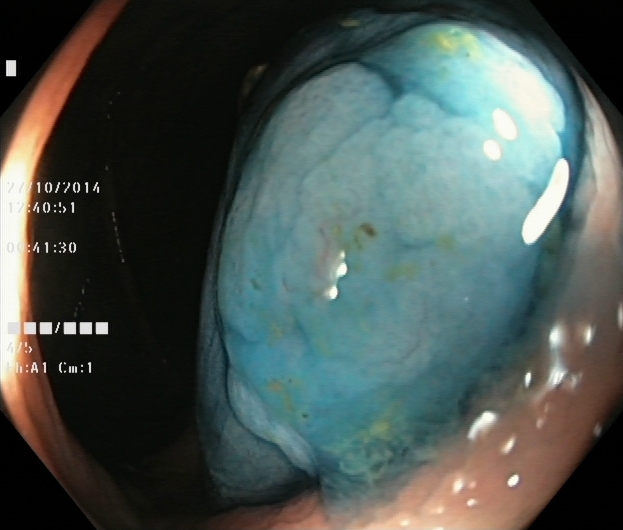PROCEDURE: Lower-GI endoscopy.
FINDINGS: Dyed and lifted polyp (pre-resection).